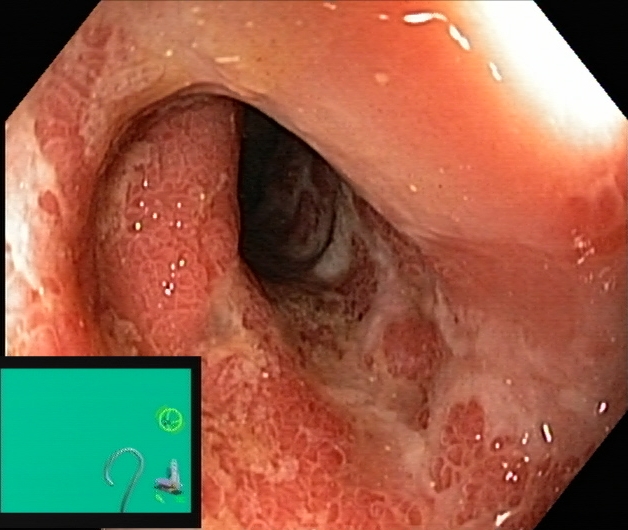Lower gastrointestinal endoscopy. Tract: lower GI tract. Pathological finding. Finding: ulcerative colitis, Mayo endoscopic subscore 3.